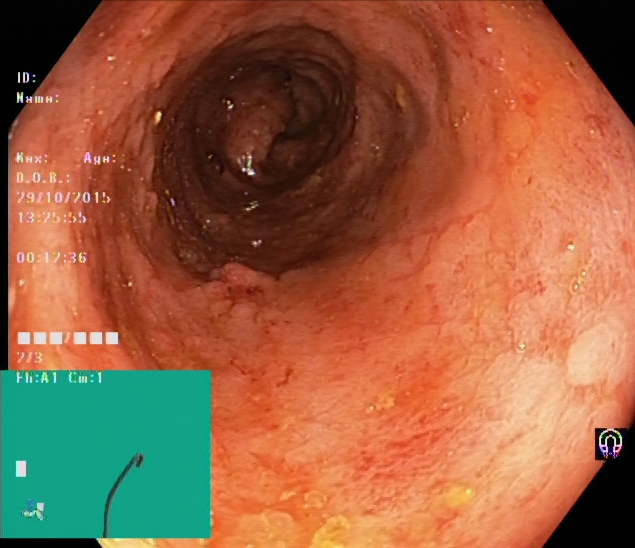GI endoscopy image of the lower GI tract showing ulcerative colitis, Mayo endoscopic subscore 2.